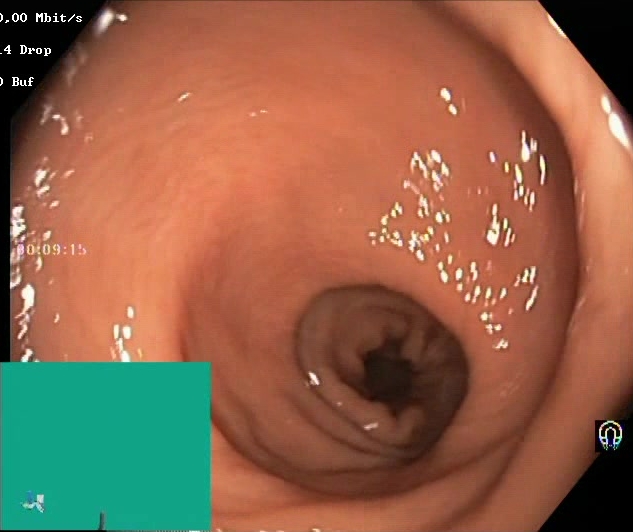Boston Bowel Preparation Scale score 2–3 (adequate preparation).